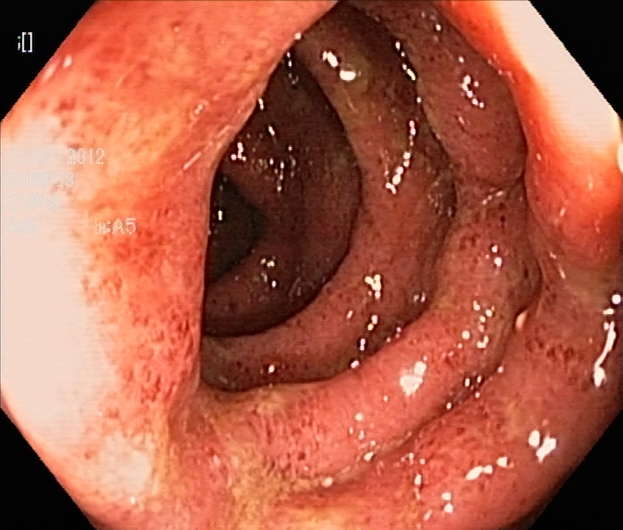Colonoscopy — ulcerative colitis, Mayo endoscopic subscore 3.